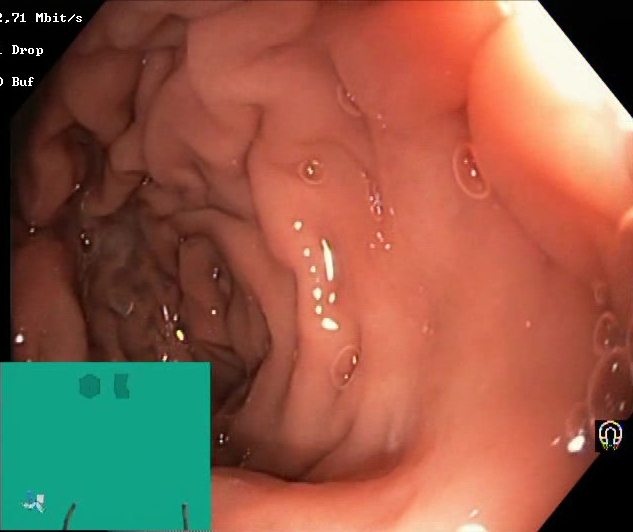modality: lower gastrointestinal endoscopy; finding: BBPS score 2–3 (adequate preparation)